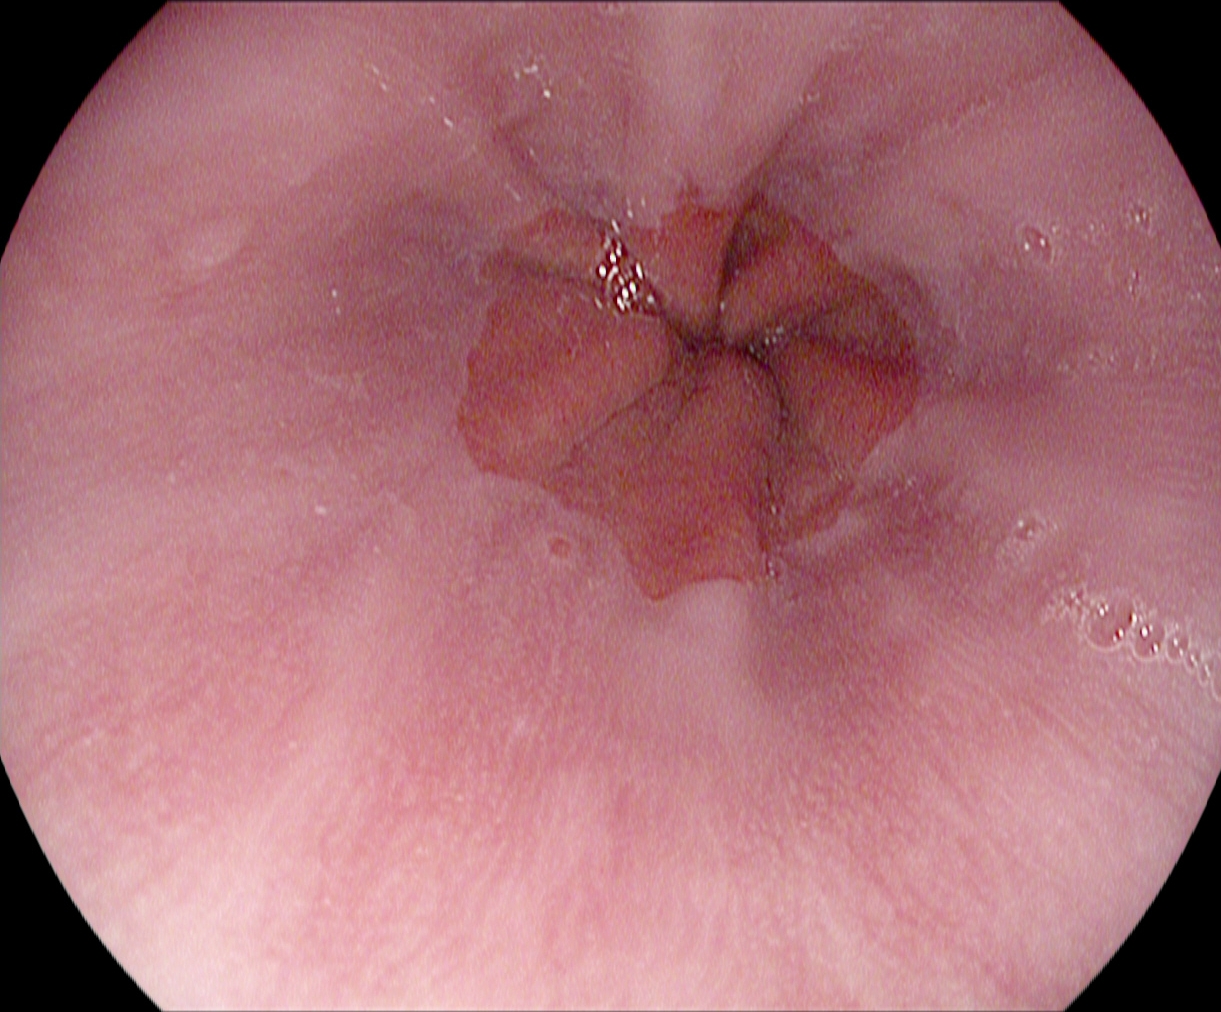{"modality": "esophagogastroduodenoscopy", "tract": "upper GI tract", "category": "pathological finding", "finding": "reflux esophagitis, LA grade A"}